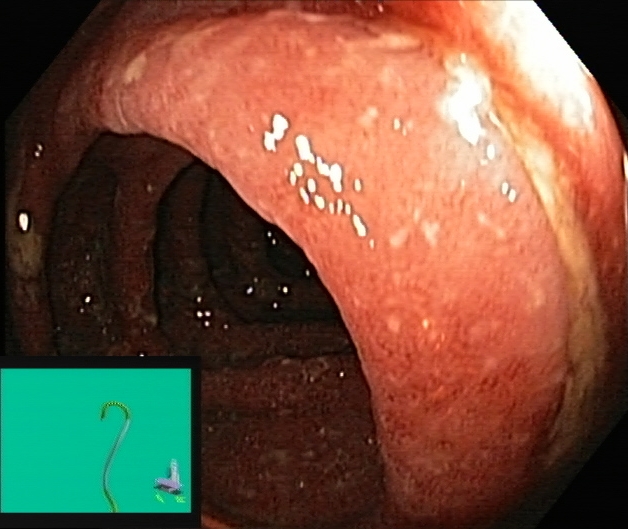Lower gastrointestinal endoscopy. Tract: lower GI tract. Finding: UC, Mayo endoscopic subscore 2.